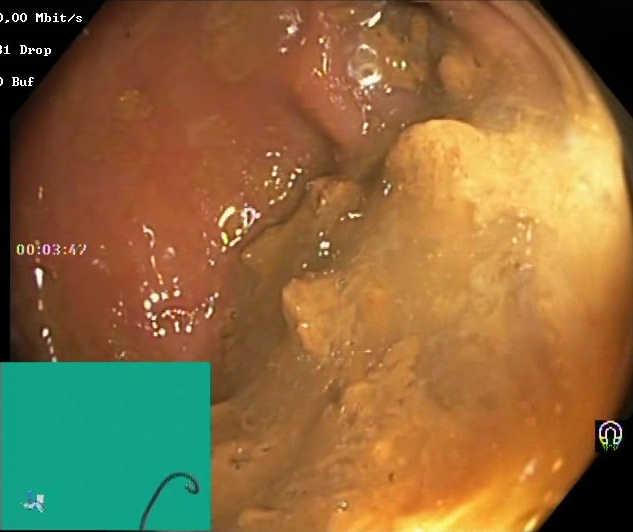Boston Bowel Preparation Scale score 0–1 (inadequate preparation).